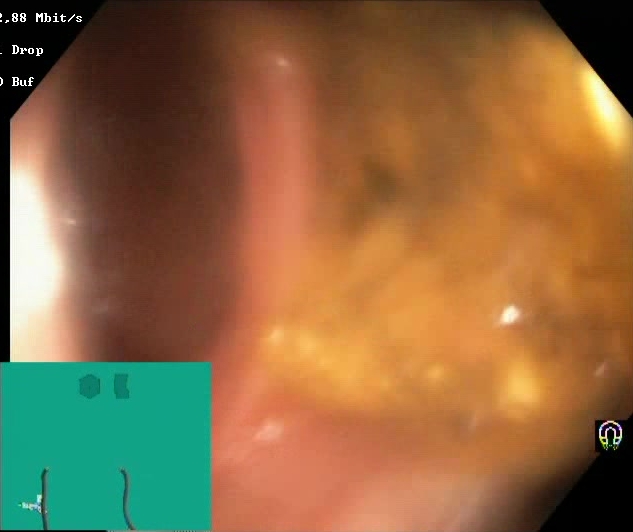Lower-GI endoscopy image of the lower GI tract showing Boston Bowel Preparation Scale score 0–1 (inadequate preparation).